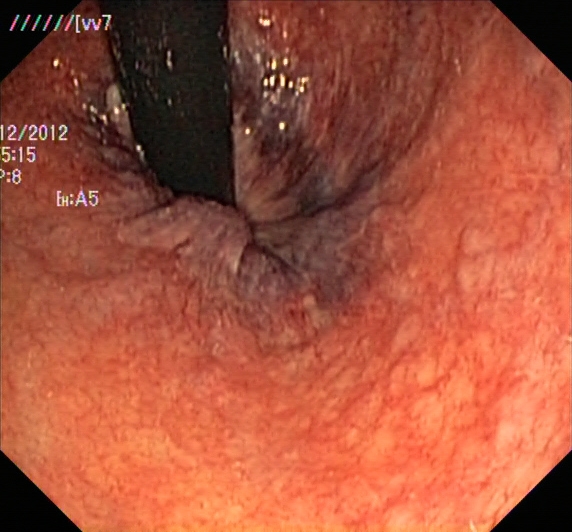Lower gastrointestinal endoscopy image showing rectum in retroflexion.